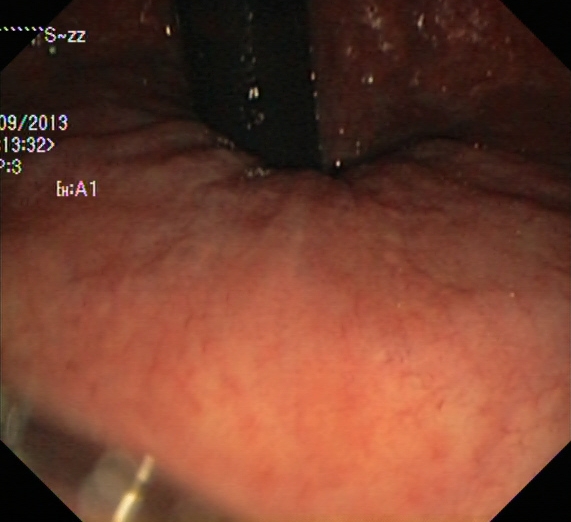modality: colonoscopy
tract: lower GI tract
category: anatomical landmark
finding: rectum in retroflexion